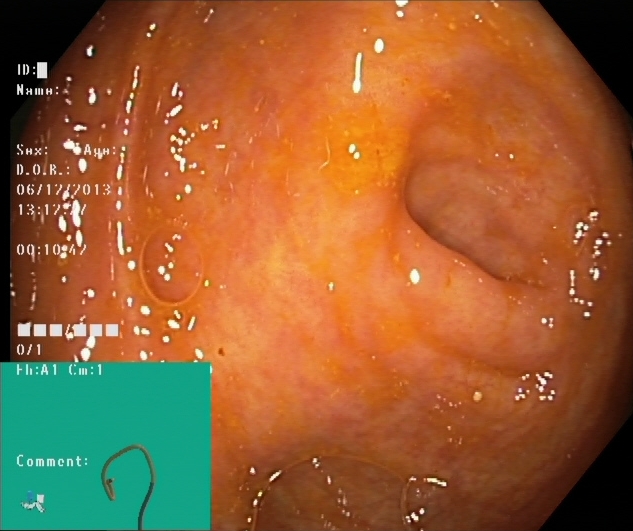This endoscopy frame of the lower GI tract shows cecum.